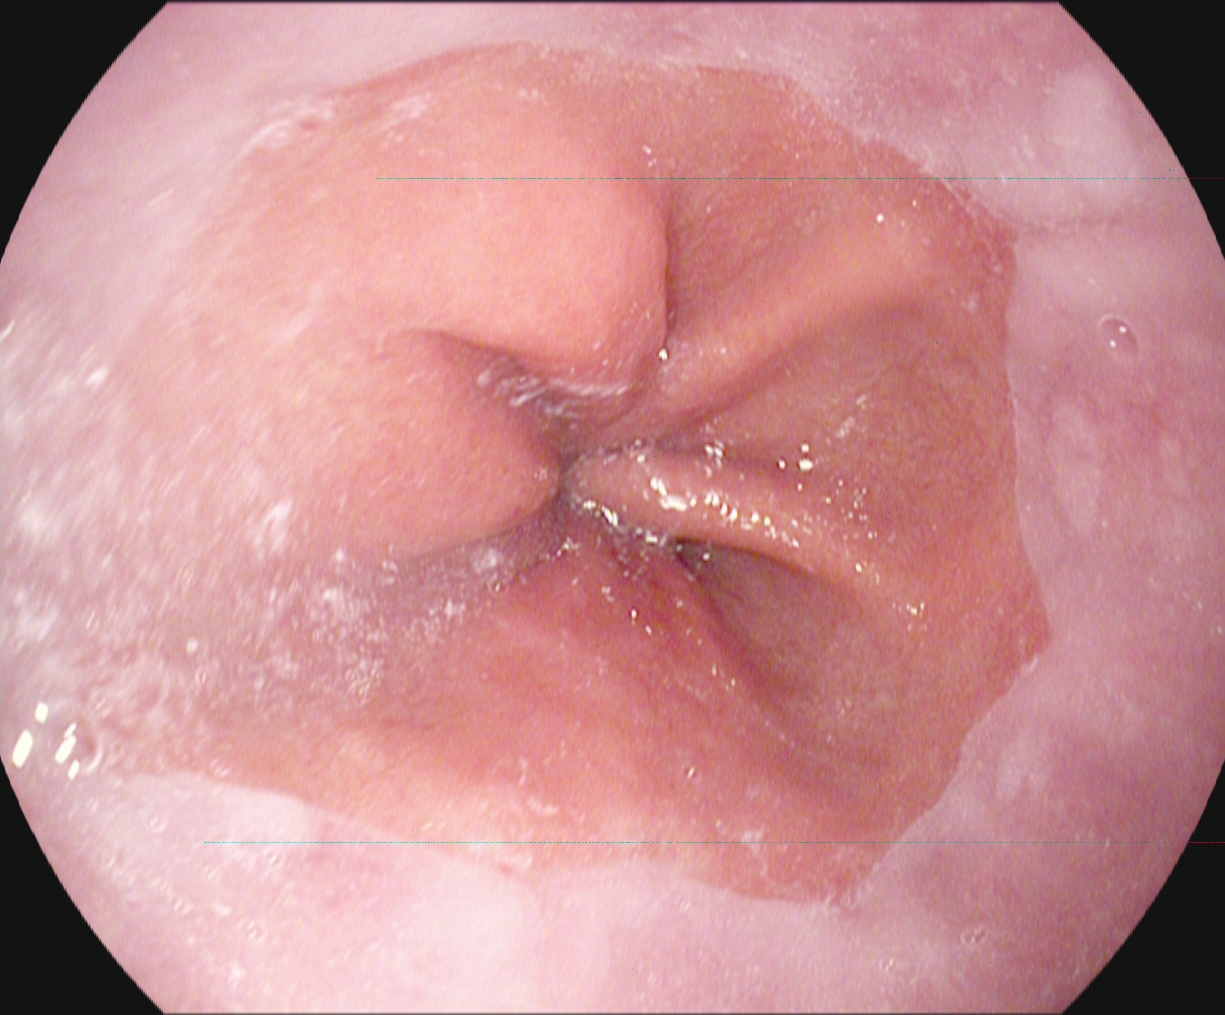Z-line (gastroesophageal junction).